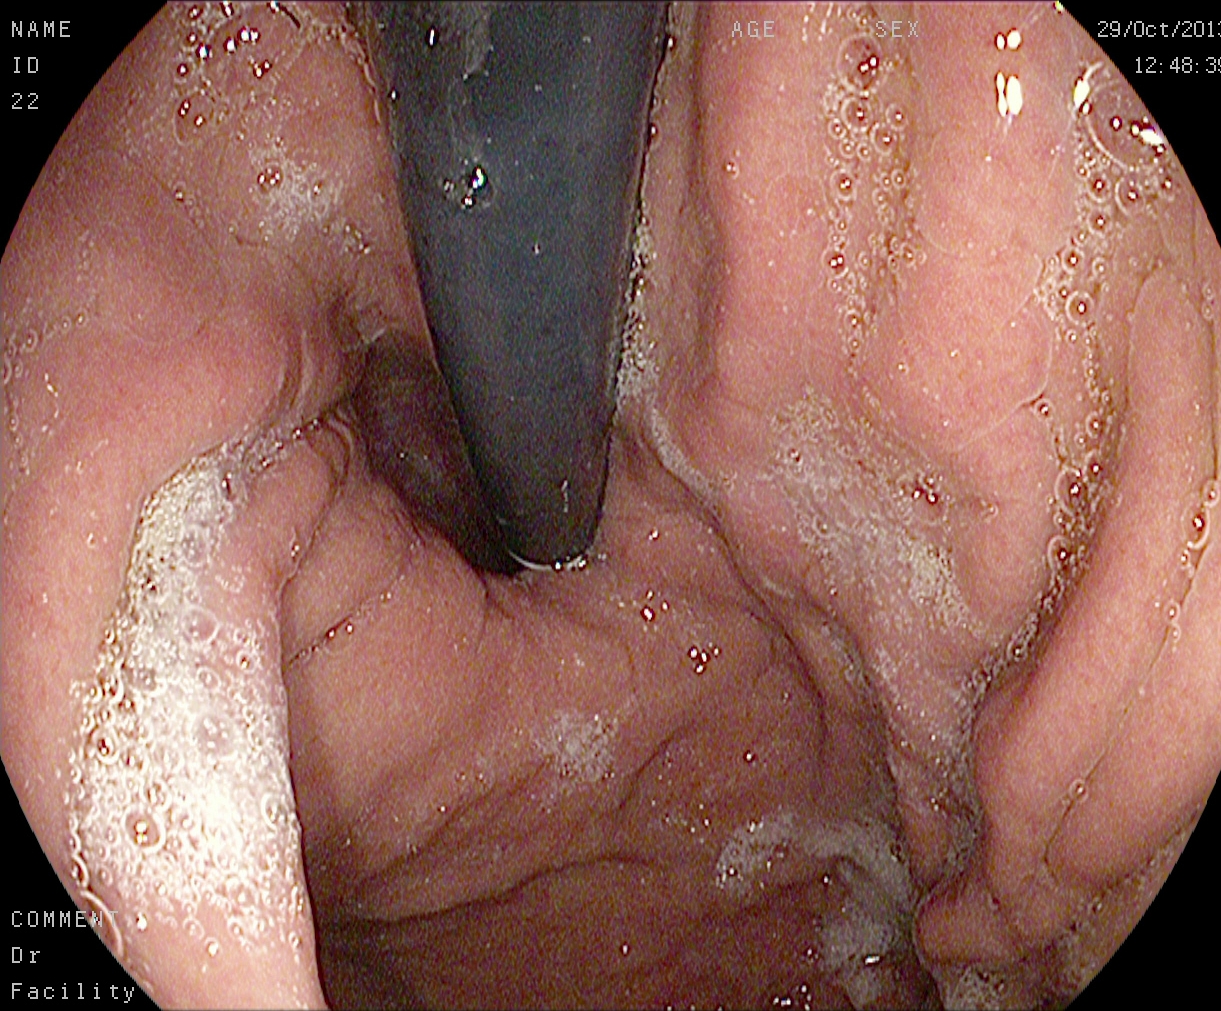EGD. Tract: upper GI tract. Finding: stomach in retroflexion.